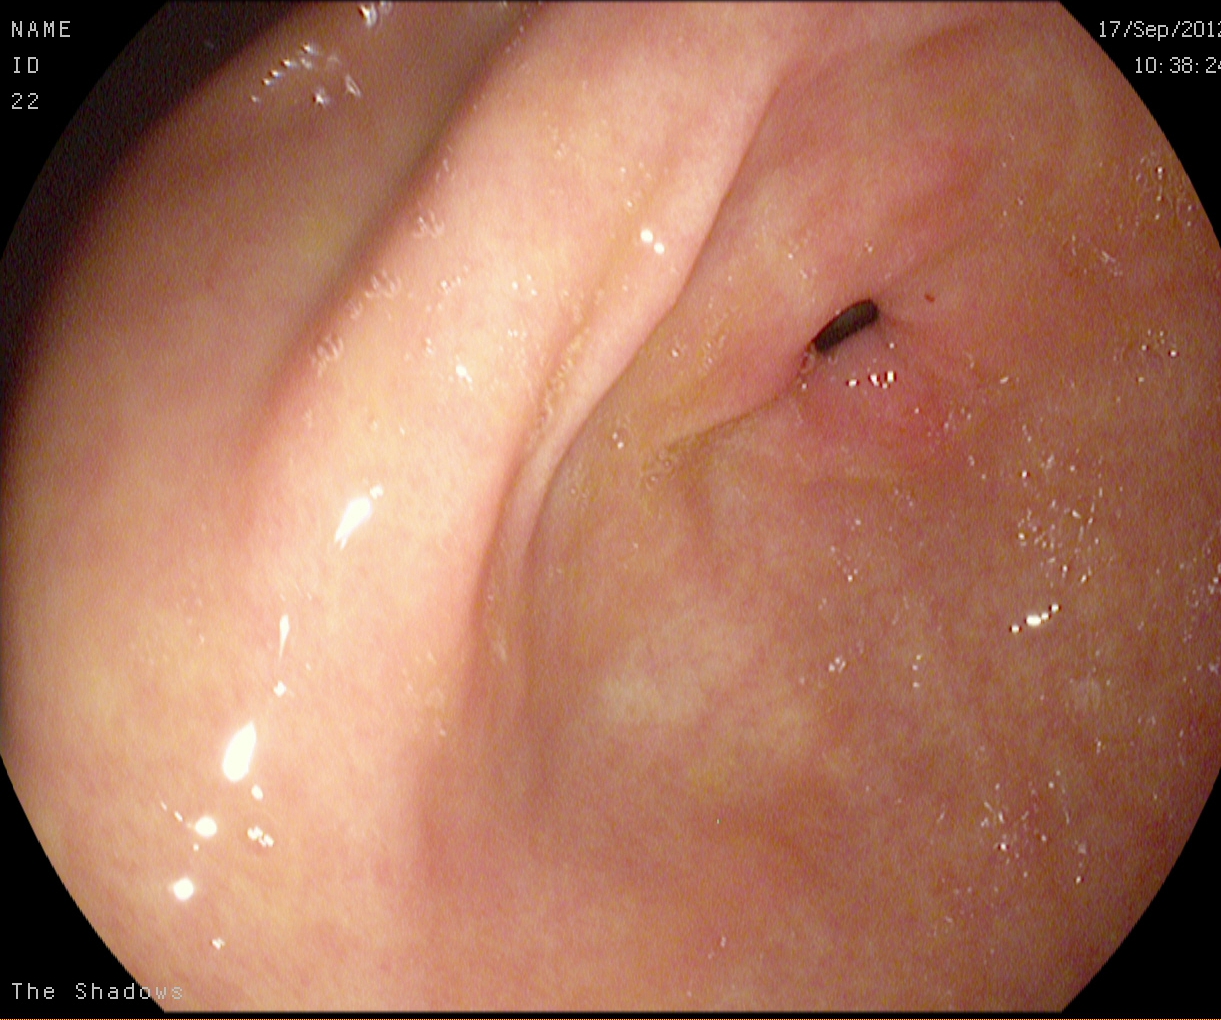Upper-GI endoscopy — pylorus.